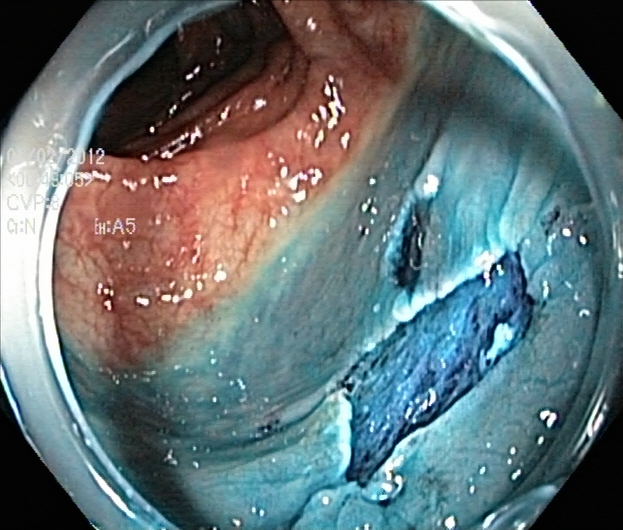PROCEDURE: Colonoscopy.
FINDINGS: Dyed resection margins (post-polypectomy).